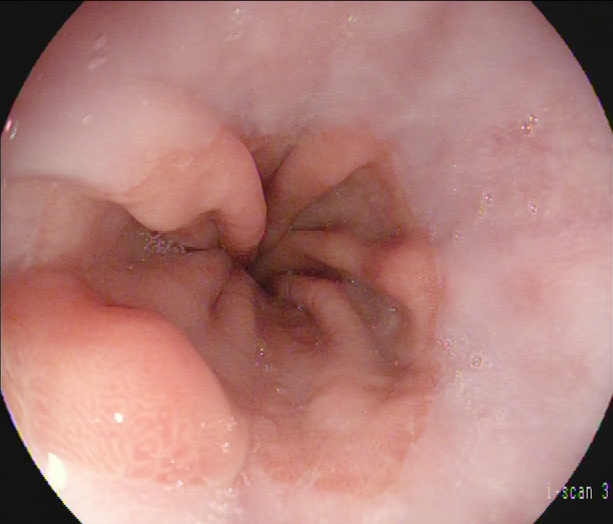{"modality": "gastroscopy", "tract": "upper GI tract", "category": "anatomical landmark", "finding": "Z-line (gastroesophageal junction)"}